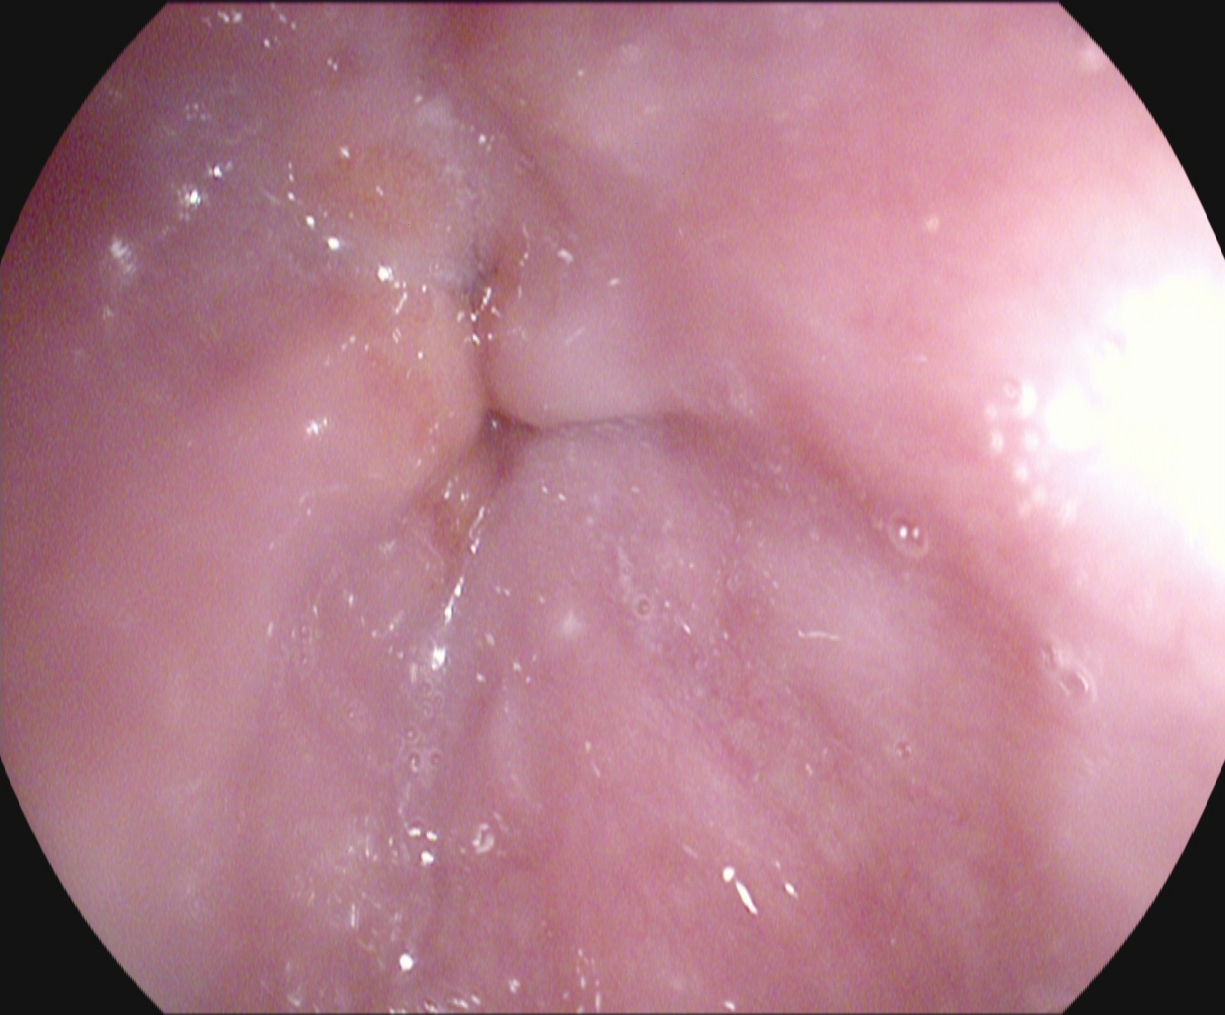Z-line (gastroesophageal junction).